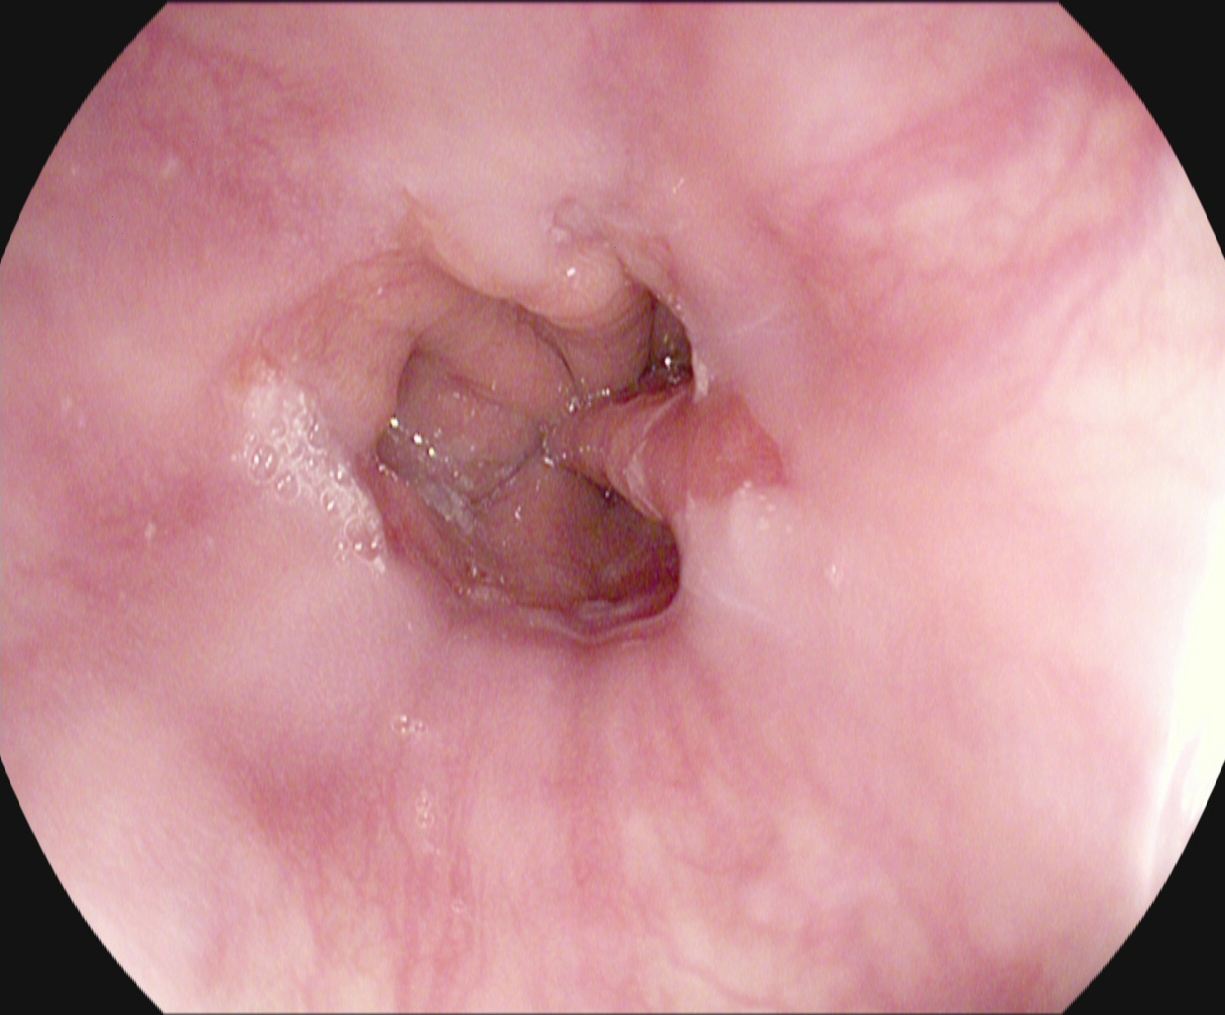GI endoscopy image showing reflux esophagitis, LA grade A.